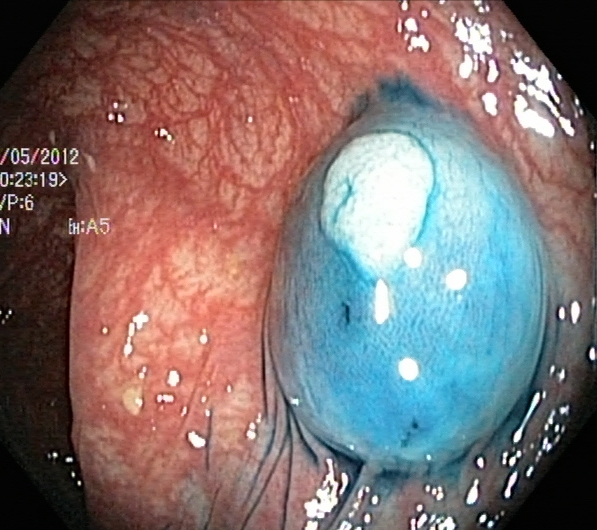Dyed and lifted polyp (pre-resection).